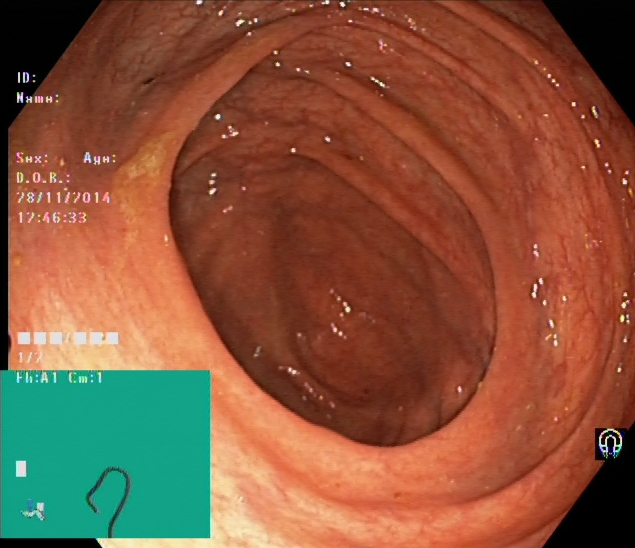modality: colonoscopy | tract: lower GI tract | category: anatomical landmark | finding: cecum